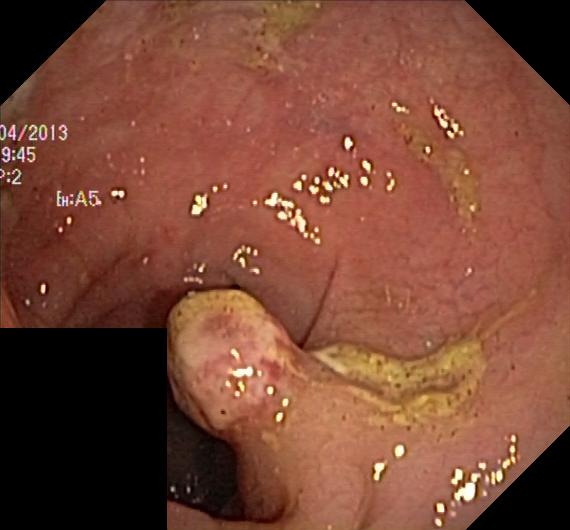This endoscopy frame of the lower GI tract shows colorectal polyp(s).